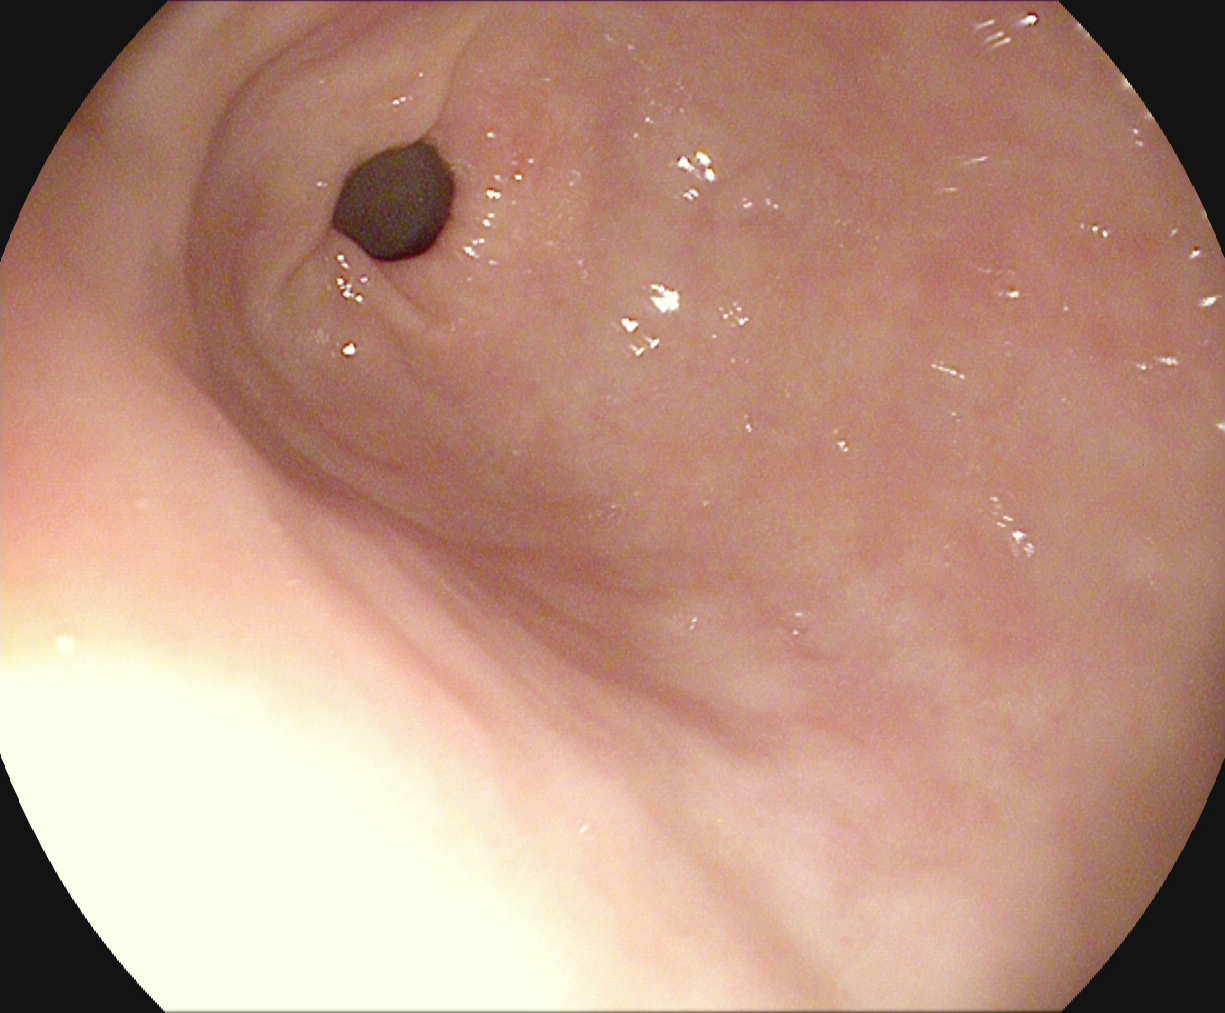{"modality": "gastroscopy", "tract": "upper GI tract", "finding": "pylorus"}